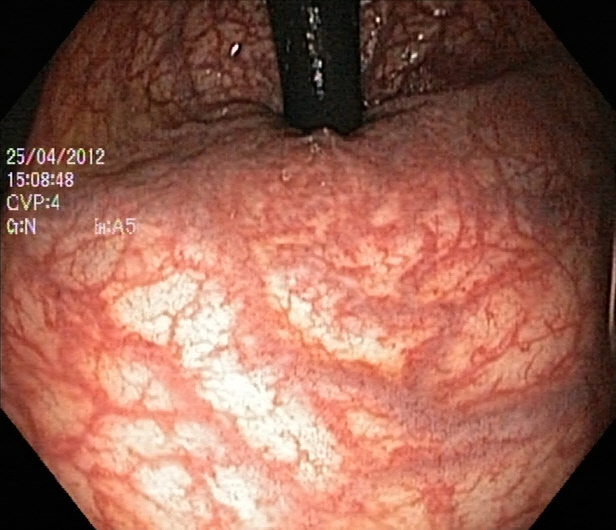PROCEDURE: Colonoscopy.
FINDINGS: Rectum in retroflexion.